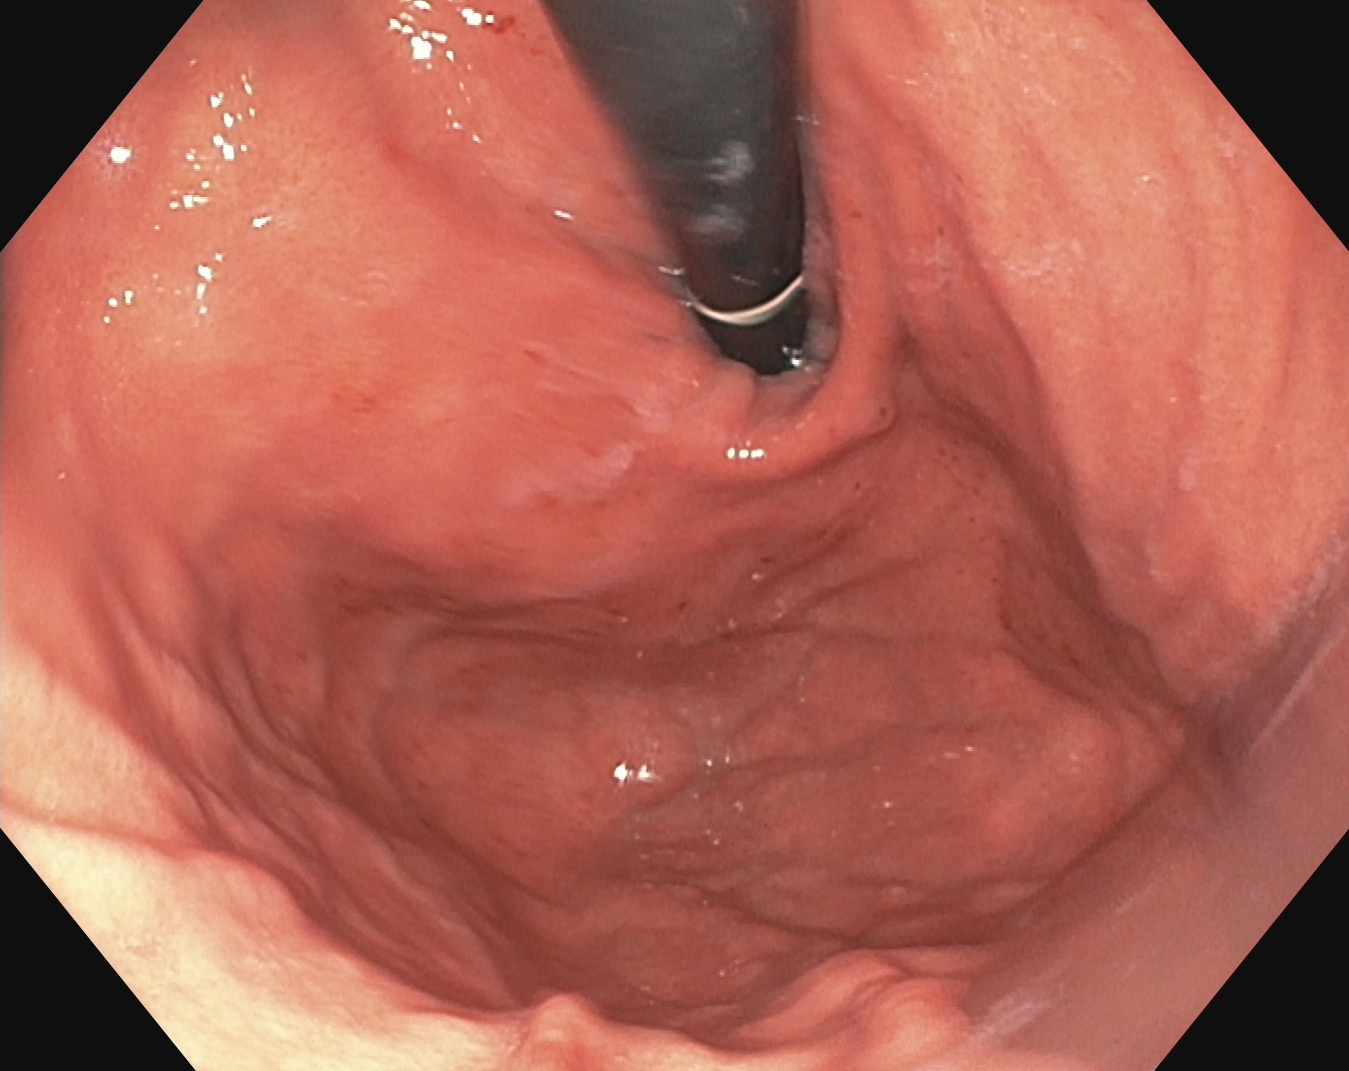Endoscopic frame of the upper GI tract showing stomach in retroflexion.